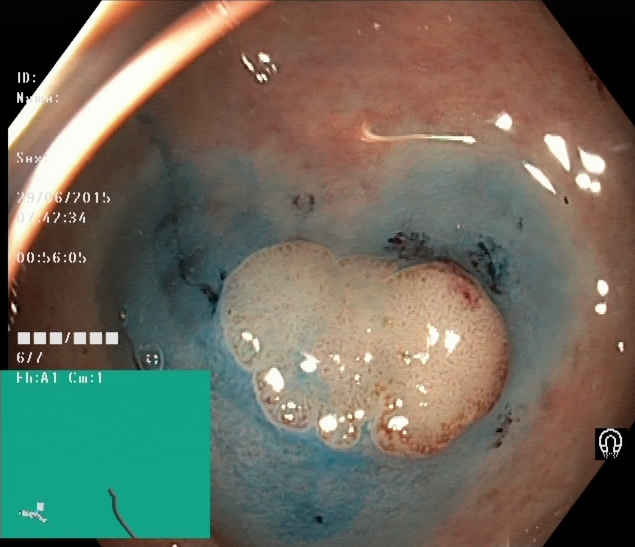Colonoscopy — dyed and lifted polyp (pre-resection).